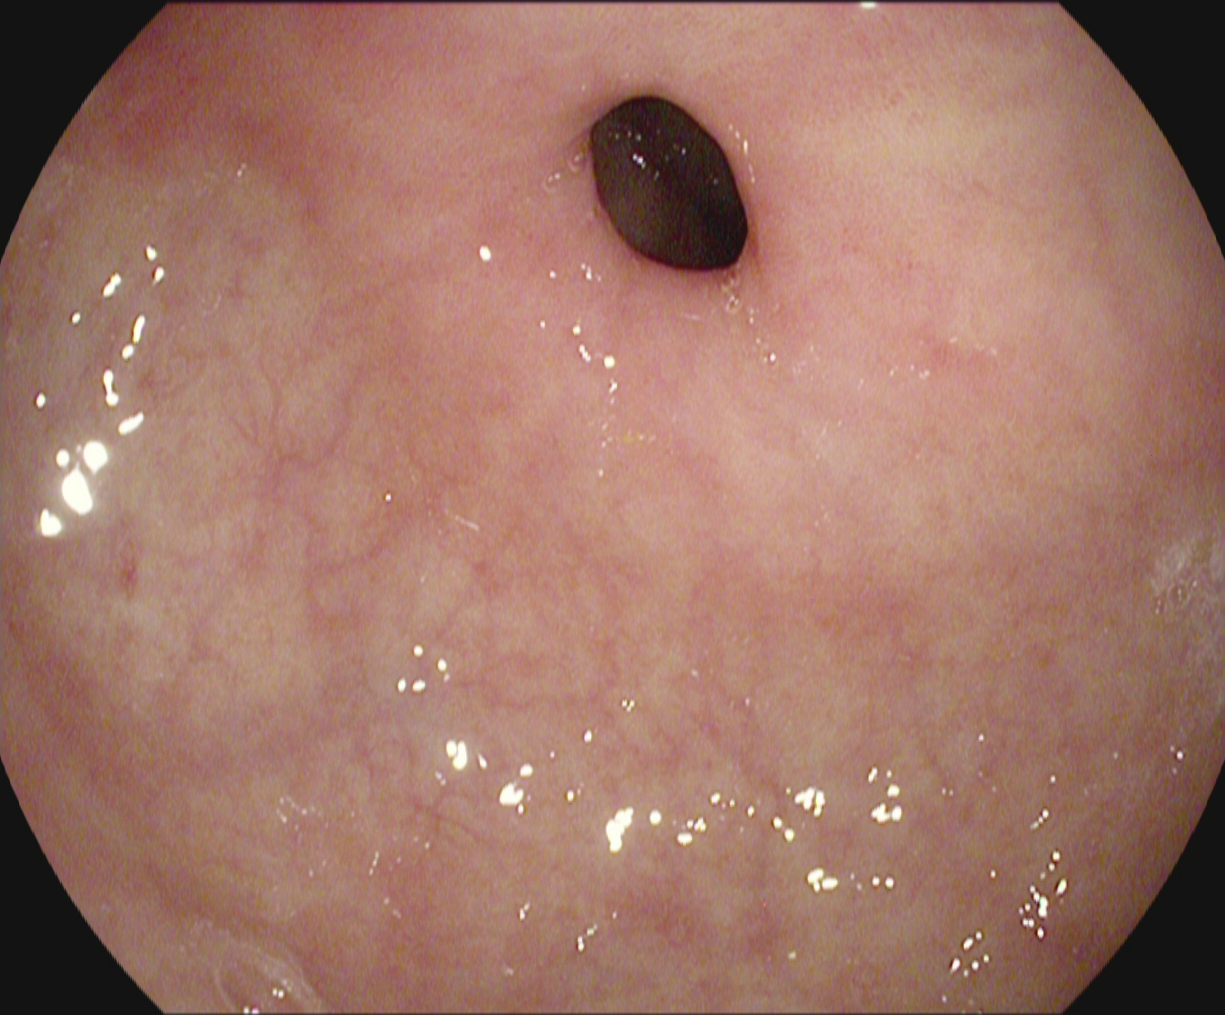modality: gastroscopy
tract: upper GI tract
finding: pylorus